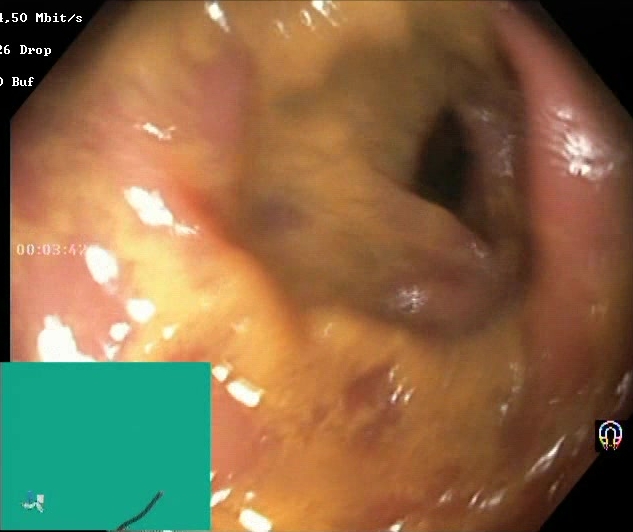This endoscopy frame of the lower GI tract shows BBPS score 0–1 (inadequate preparation).